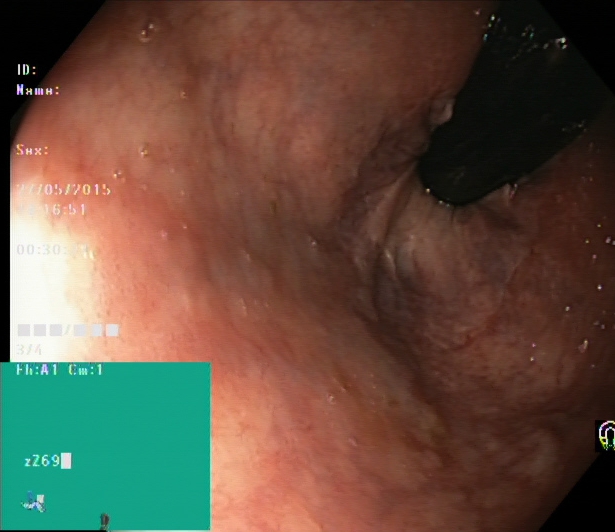Lower-GI endoscopy — rectum in retroflexion.